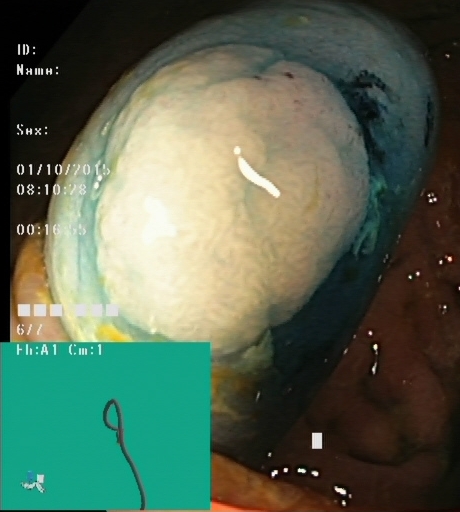modality: lower-GI endoscopy
finding: dyed and lifted polyp (pre-resection)